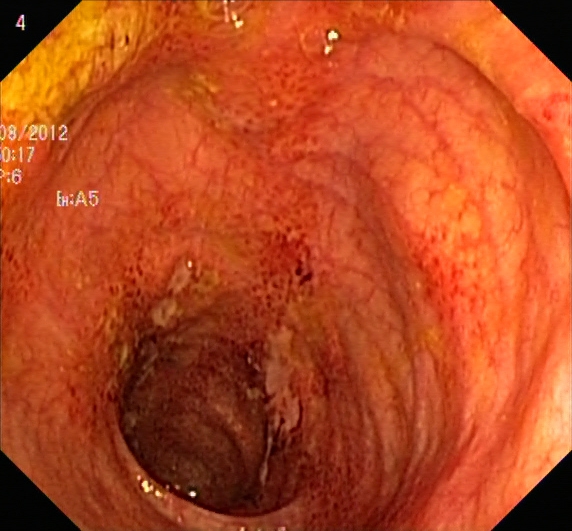This endoscopic image of the lower GI tract shows UC, Mayo endoscopic subscore 1.